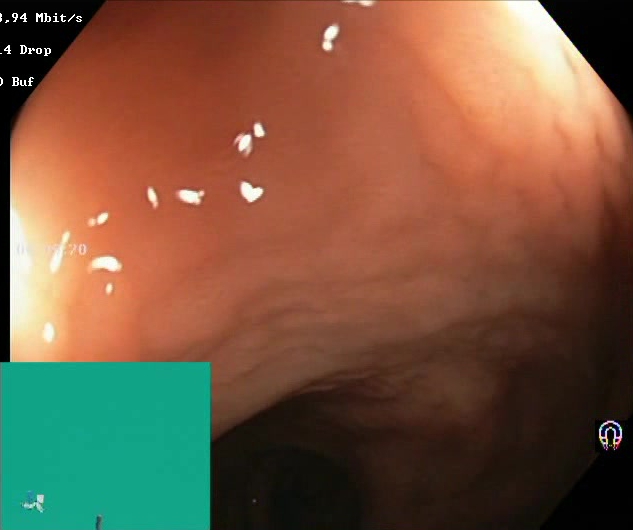PROCEDURE: Colonoscopy.
CATEGORY: Mucosal-view quality.
FINDINGS: Boston Bowel Preparation Scale score 2–3 (adequate preparation).